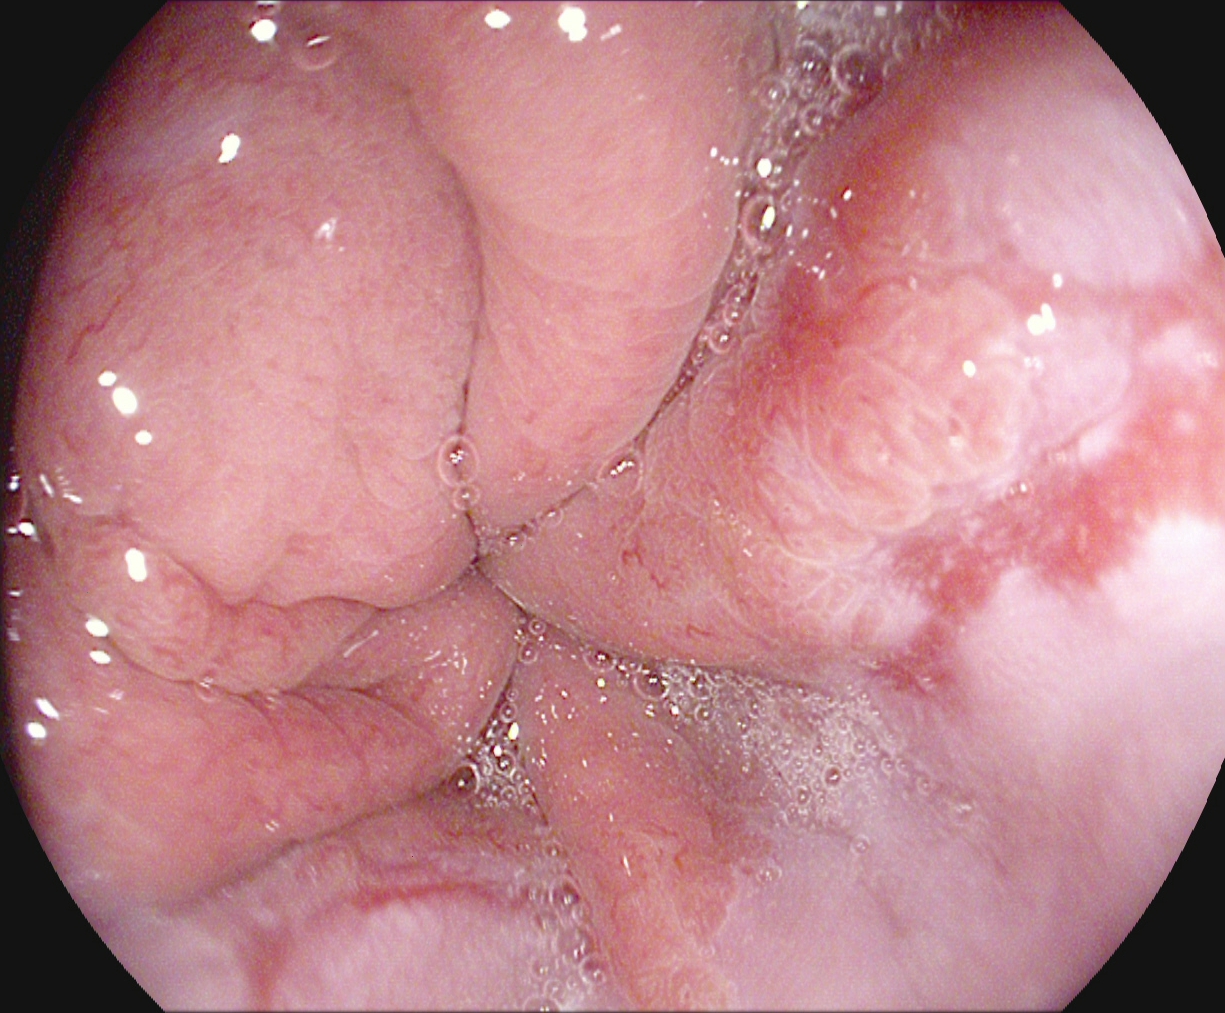Gastrointestinal endoscopy image of the upper GI tract showing reflux esophagitis, Los Angeles grade B–D.